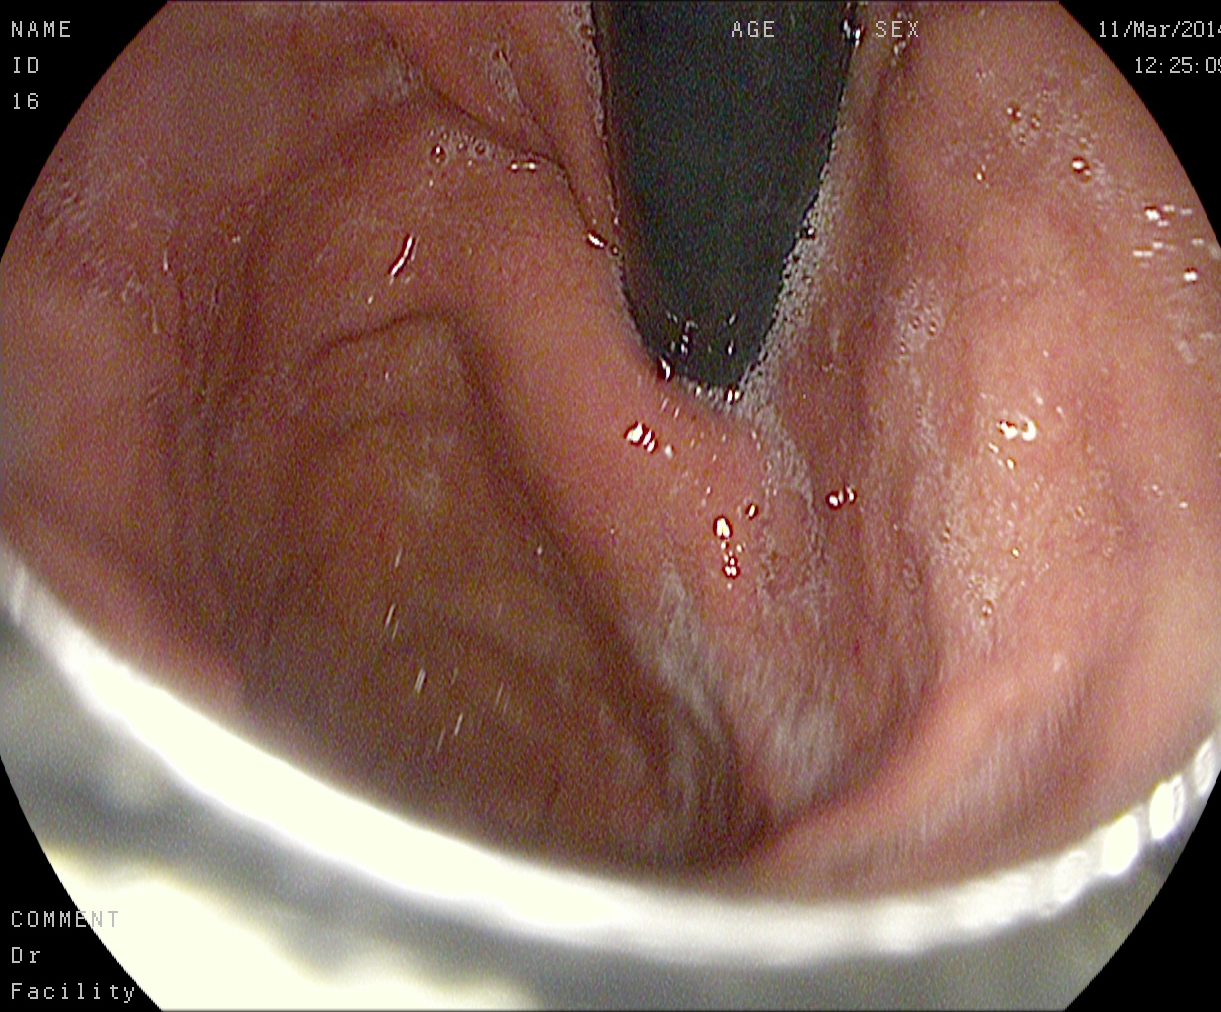modality: EGD; tract: upper GI tract; finding: stomach in retroflexion